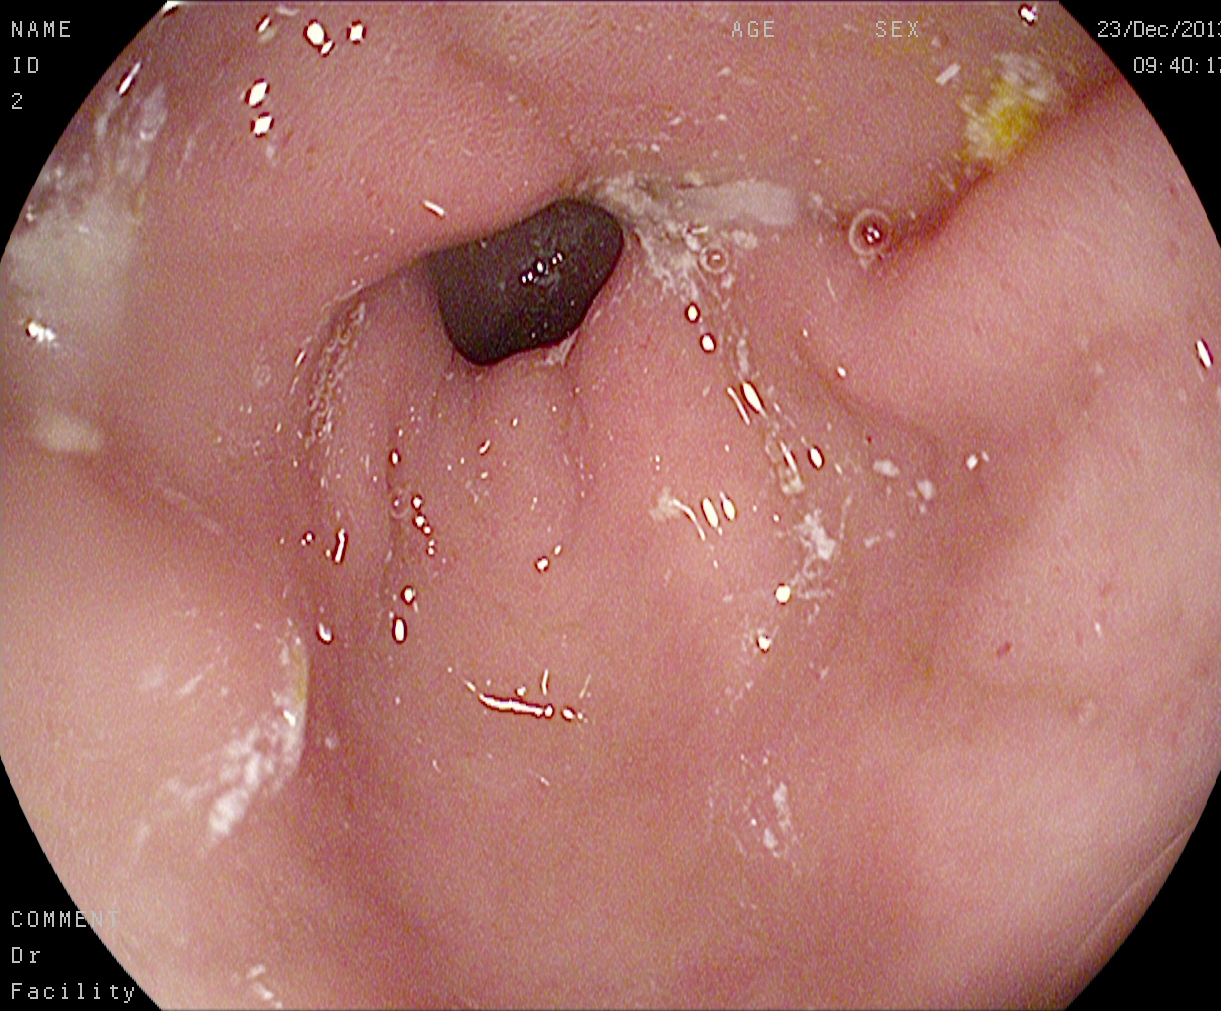Pylorus.